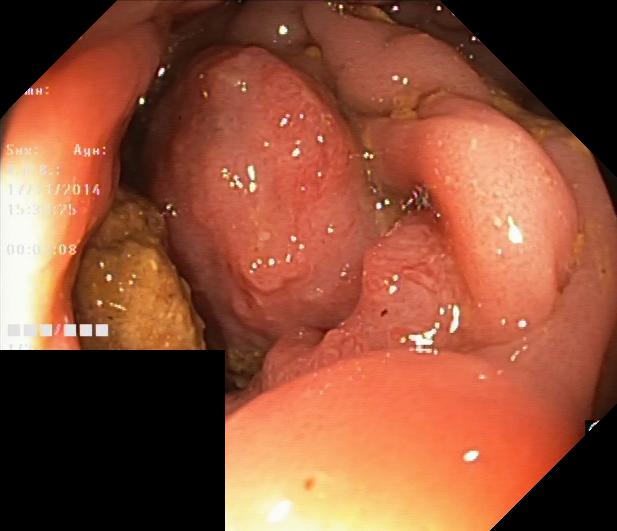Lower-GI endoscopy — colorectal polyp(s).